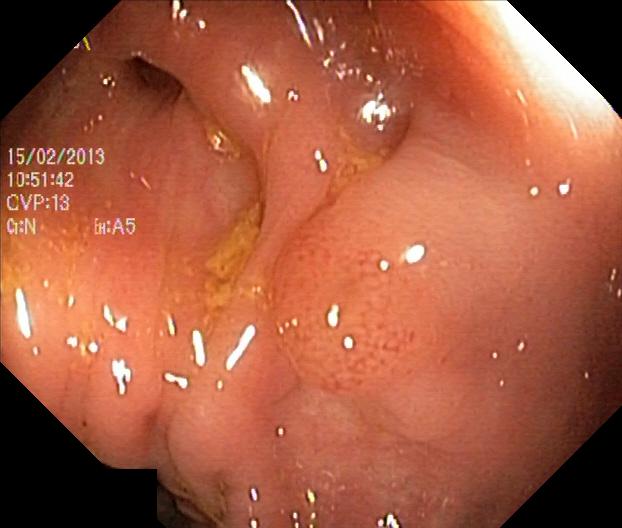{"modality": "lower gastrointestinal endoscopy", "tract": "lower GI tract", "category": "pathological finding", "finding": "colorectal polyp(s)"}